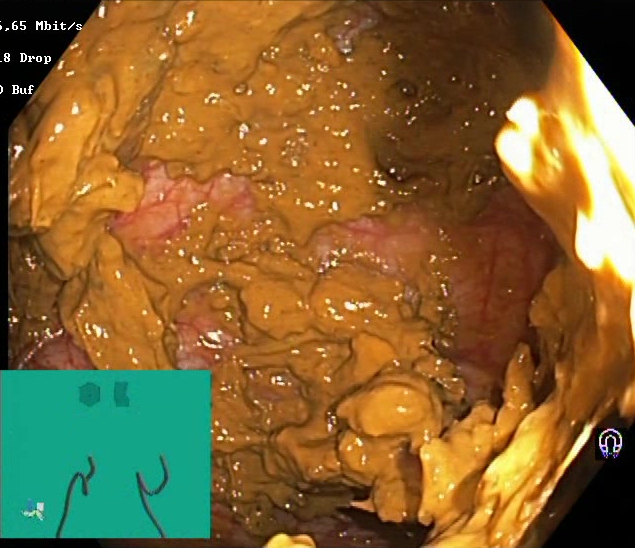{"modality": "colonoscopy", "tract": "lower GI tract", "category": "mucosal-view quality", "finding": "Boston Bowel Preparation Scale score 0\u20131 (inadequate preparation)"}